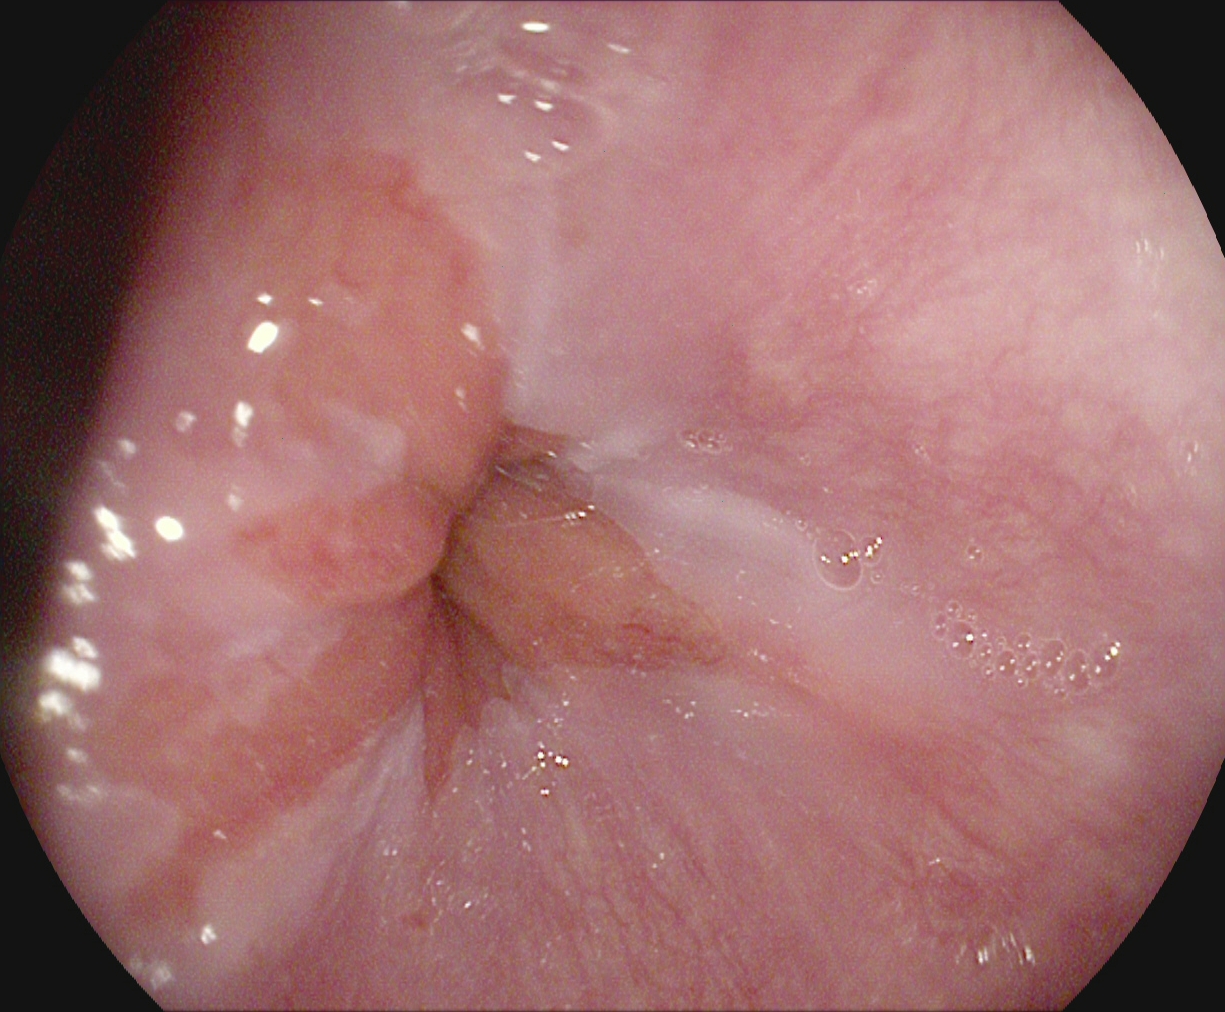EGD — Z-line (gastroesophageal junction).